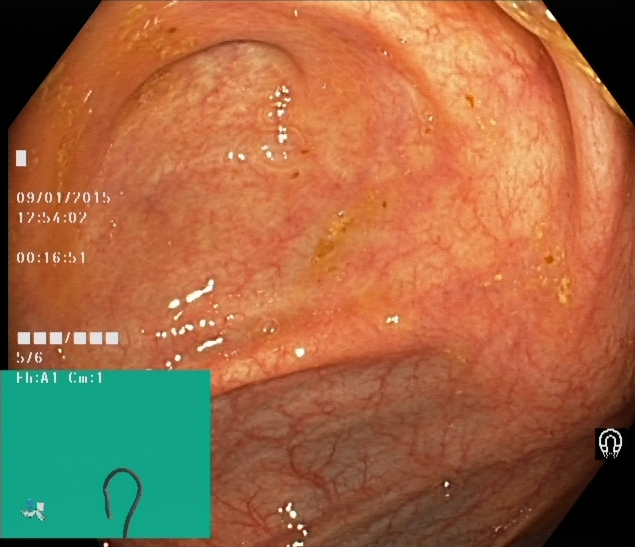modality: lower gastrointestinal endoscopy | tract: lower GI tract | category: anatomical landmark | finding: cecum